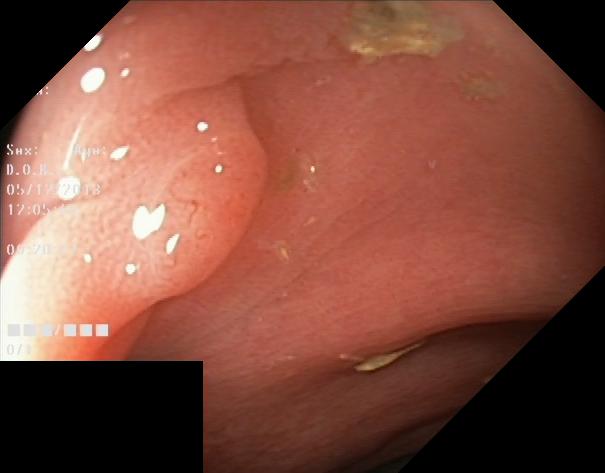This endoscopy frame of the lower GI tract shows colorectal polyp(s).